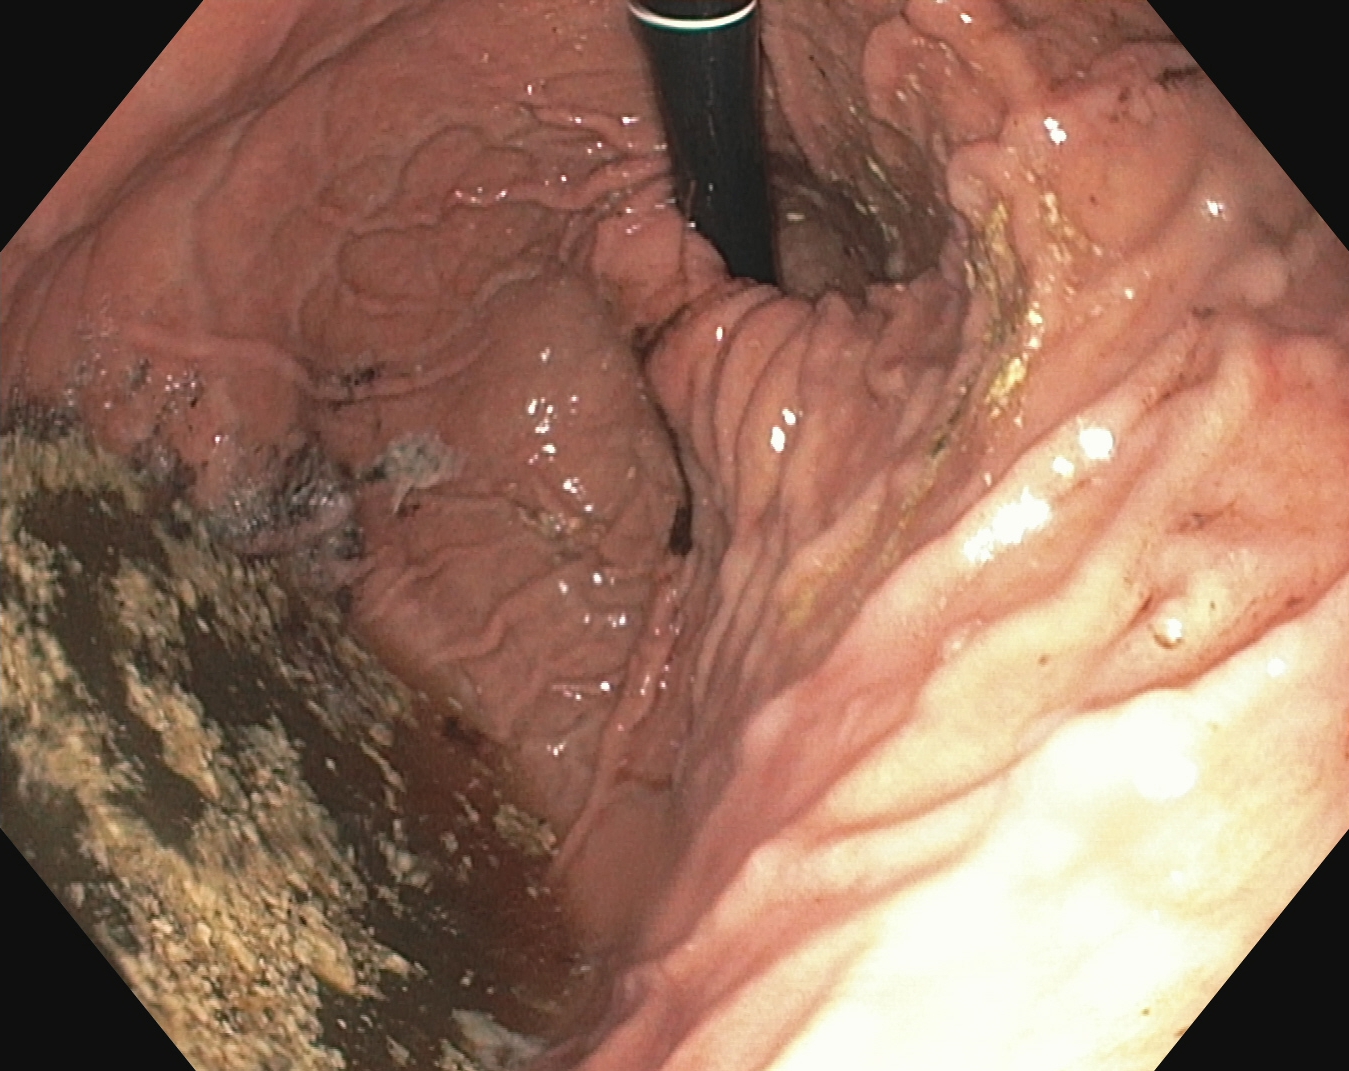{"modality": "EGD", "tract": "upper GI tract", "finding": "stomach in retroflexion"}